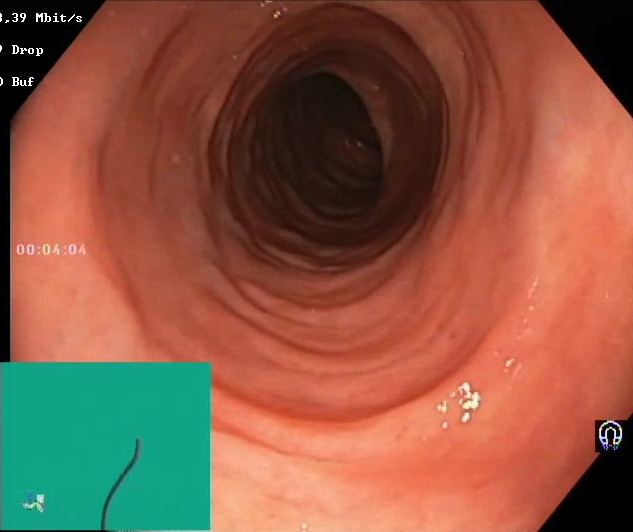modality: colonoscopy | tract: lower GI tract | finding: Boston Bowel Preparation Scale score 2–3 (adequate preparation)